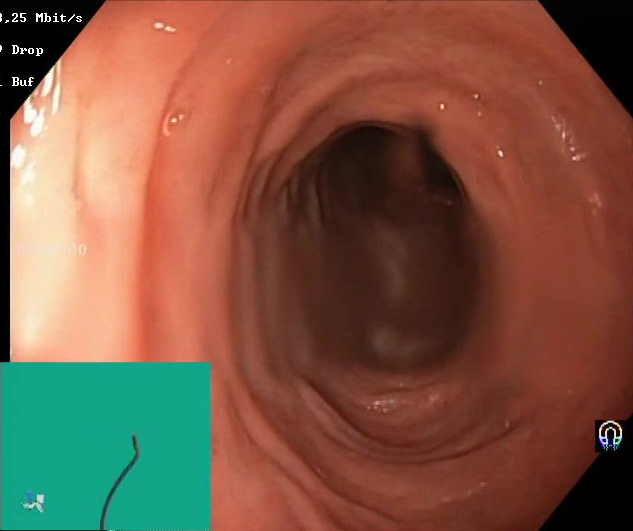PROCEDURE: Lower gastrointestinal endoscopy.
CATEGORY: Mucosal-view quality.
FINDINGS: BBPS score 2–3 (adequate preparation).